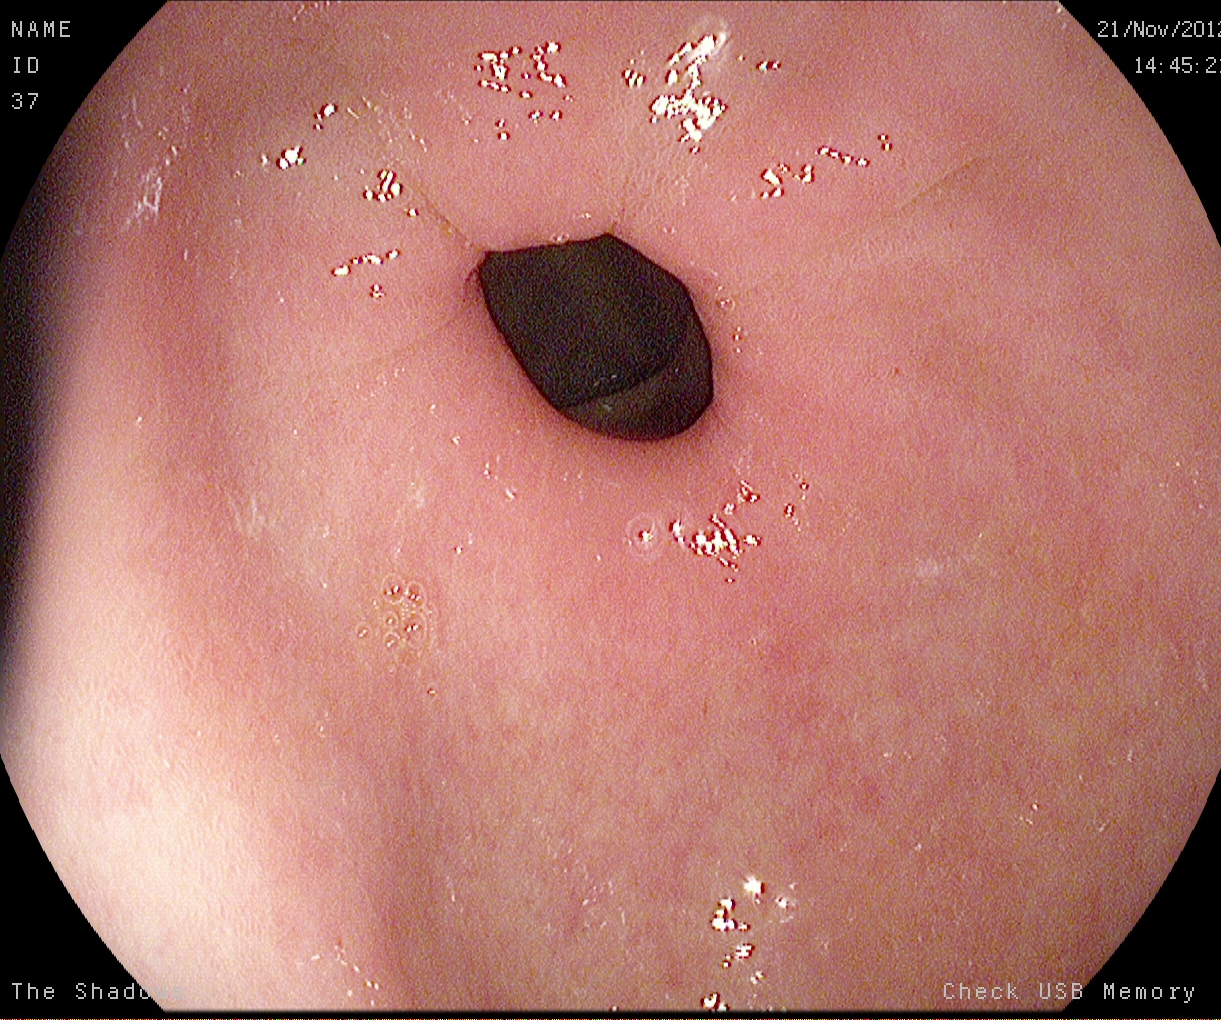PROCEDURE: Esophagogastroduodenoscopy.
FINDINGS: Pylorus.